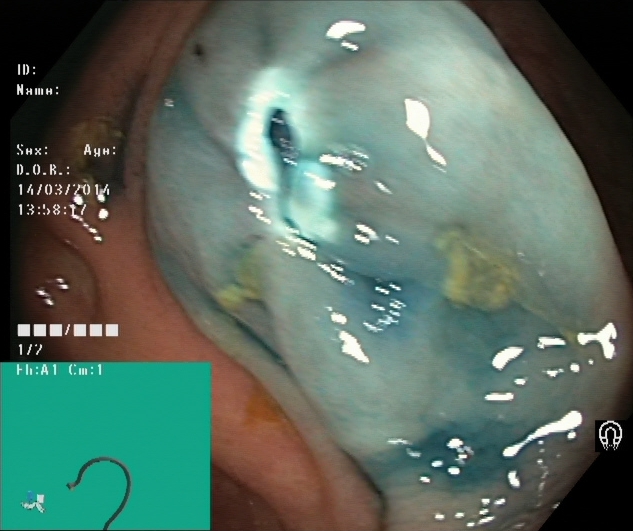{"modality": "lower-GI endoscopy", "tract": "lower GI tract", "finding": "dyed resection margins (post-polypectomy)"}